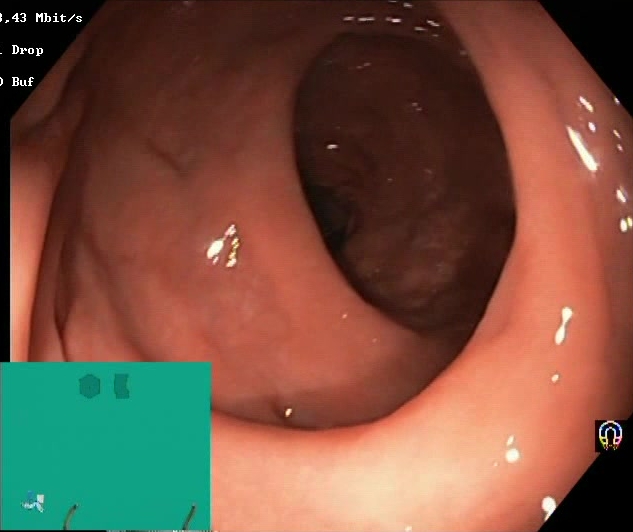Lower-GI endoscopy. Finding: BBPS score 2–3 (adequate preparation).